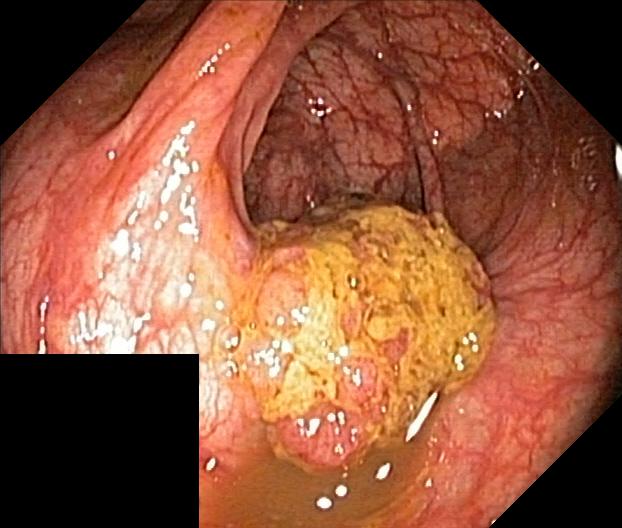Endoscopic frame showing colorectal polyp(s).